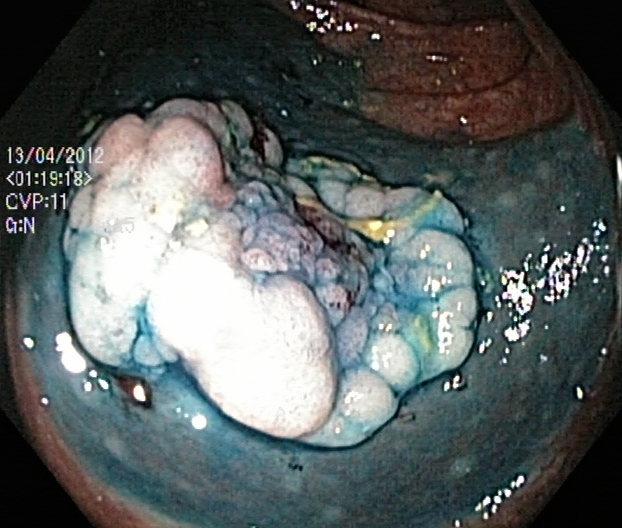This endoscopic image of the lower GI tract shows dyed and lifted polyp (pre-resection).